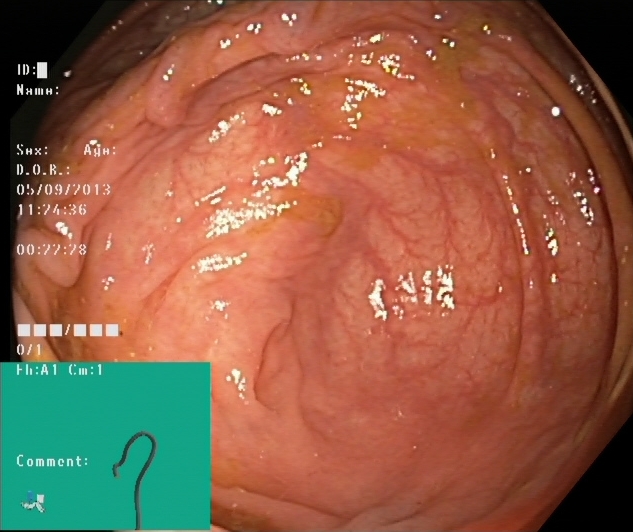{"modality": "lower gastrointestinal endoscopy", "finding": "cecum"}